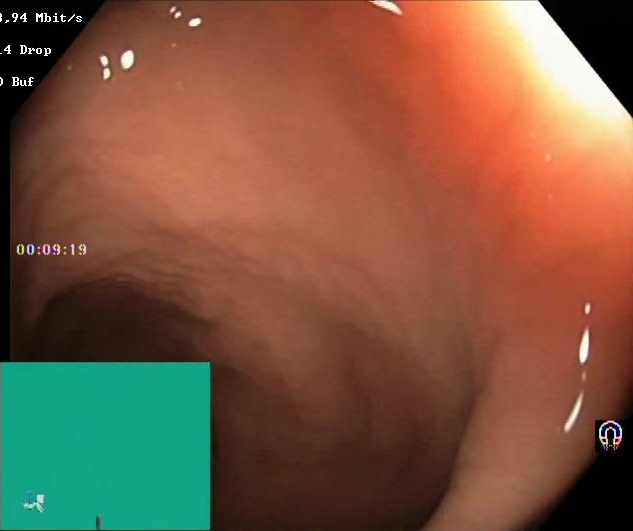PROCEDURE: Lower-GI endoscopy.
CATEGORY: Mucosal-view quality.
FINDINGS: Boston Bowel Preparation Scale score 2–3 (adequate preparation).